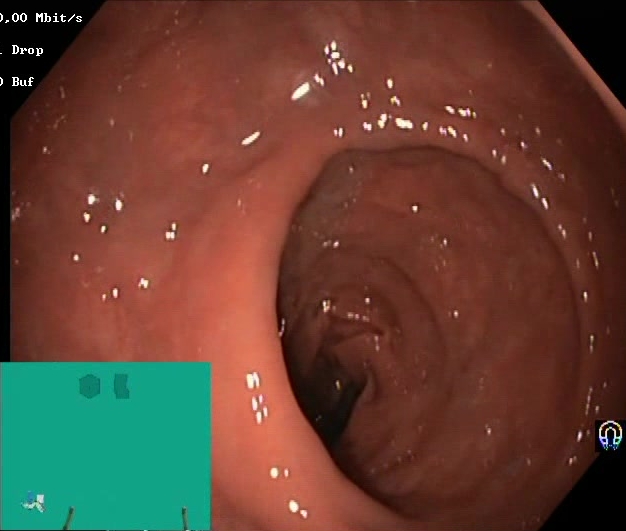{"modality": "lower-GI endoscopy", "tract": "lower GI tract", "category": "mucosal-view quality", "finding": "Boston Bowel Preparation Scale score 2\u20133 (adequate preparation)"}